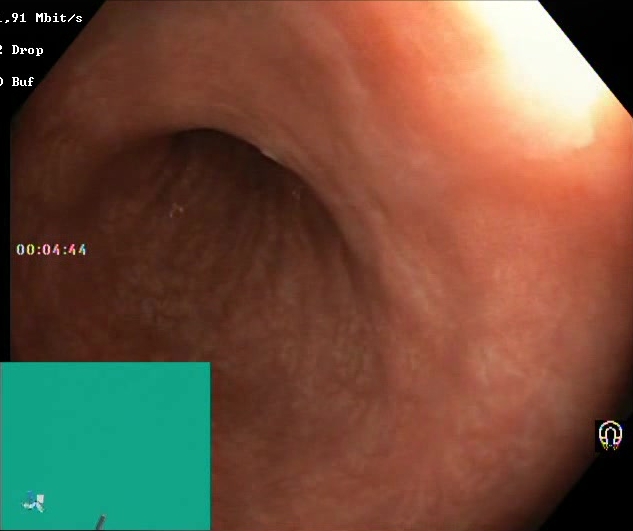Boston Bowel Preparation Scale score 2–3 (adequate preparation).